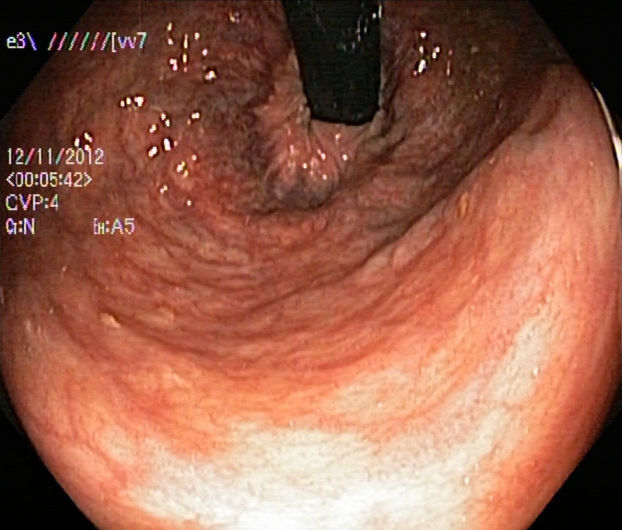Lower gastrointestinal endoscopy. Tract: lower GI tract. Anatomical landmark. Finding: rectum in retroflexion.